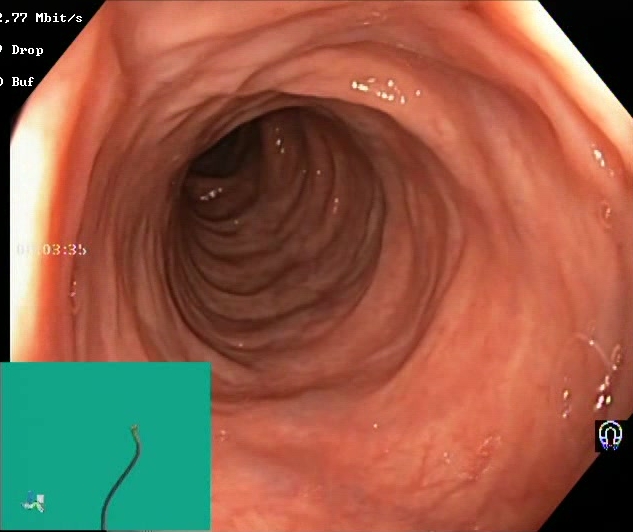modality: lower gastrointestinal endoscopy; finding: BBPS score 2–3 (adequate preparation)